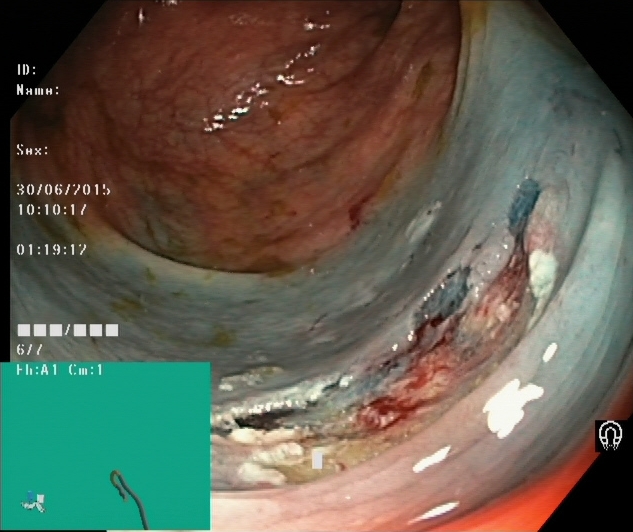This endoscopic image shows dyed resection margins (post-polypectomy).